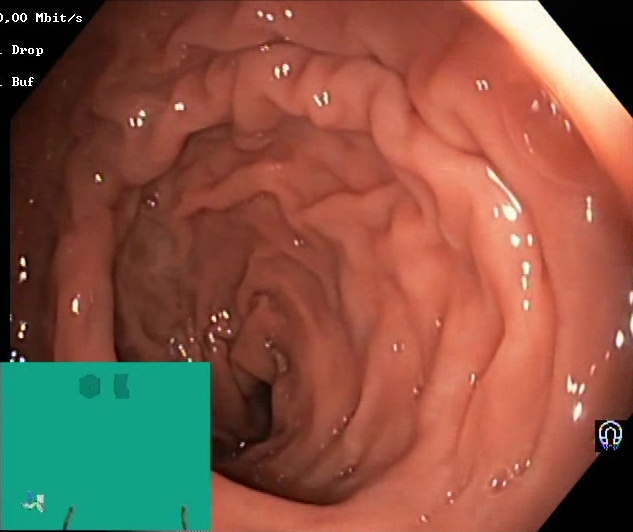{"modality": "lower gastrointestinal endoscopy", "tract": "lower GI tract", "category": "mucosal-view quality", "finding": "BBPS score 2\u20133 (adequate preparation)"}